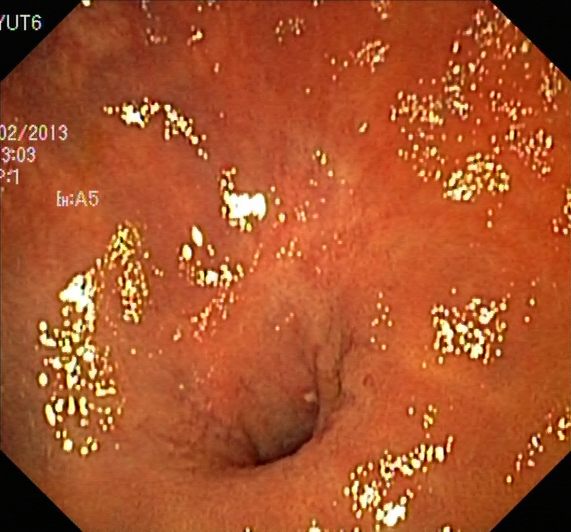This endoscopic image shows ulcerative colitis, Mayo endoscopic subscore 1.